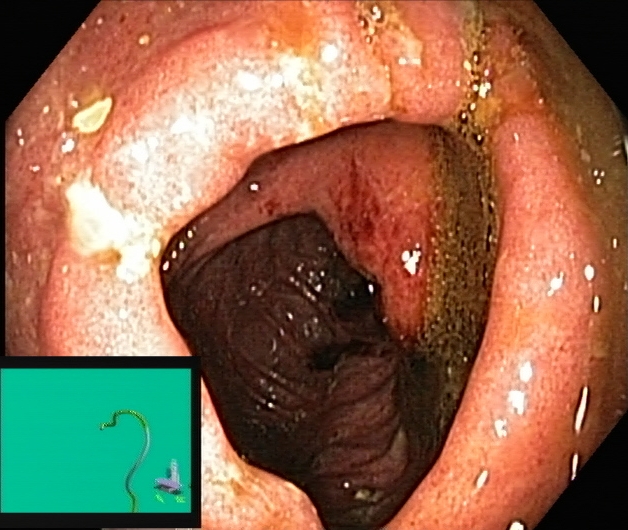Colonoscopy. Tract: lower GI tract. Pathological finding. Finding: ulcerative colitis, Mayo endoscopic subscore 2.